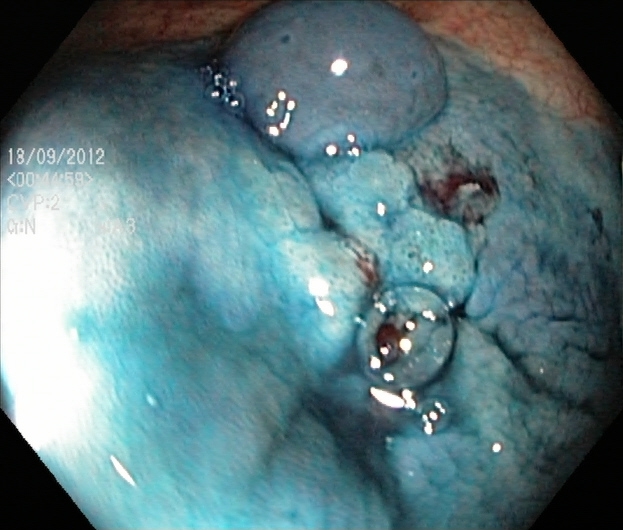dyed and lifted polyp (pre-resection).